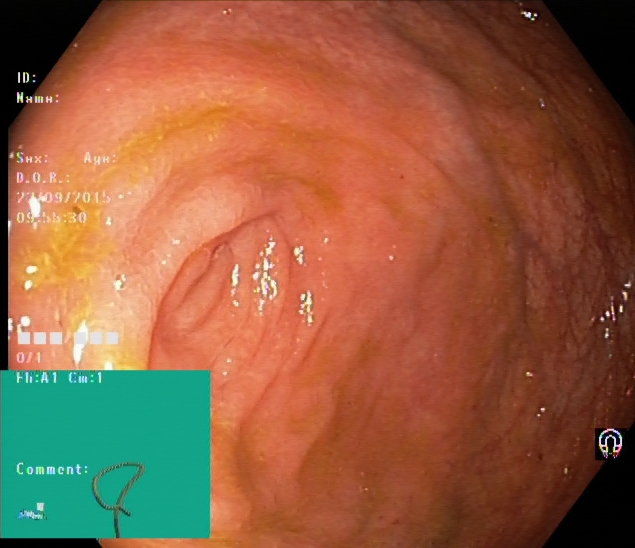Lower-GI endoscopy image showing cecum.